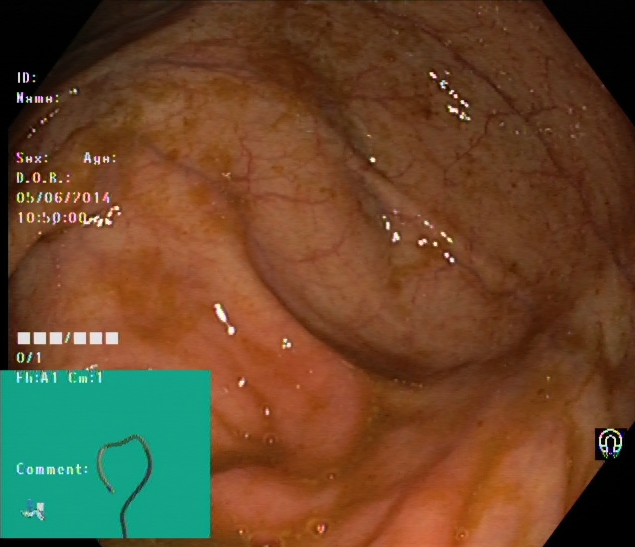Cecum.